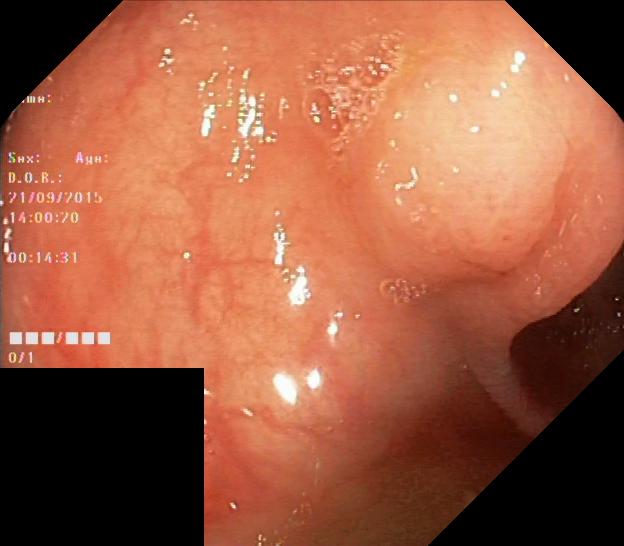modality: lower-GI endoscopy | tract: lower GI tract | category: pathological finding | finding: colorectal polyp(s)